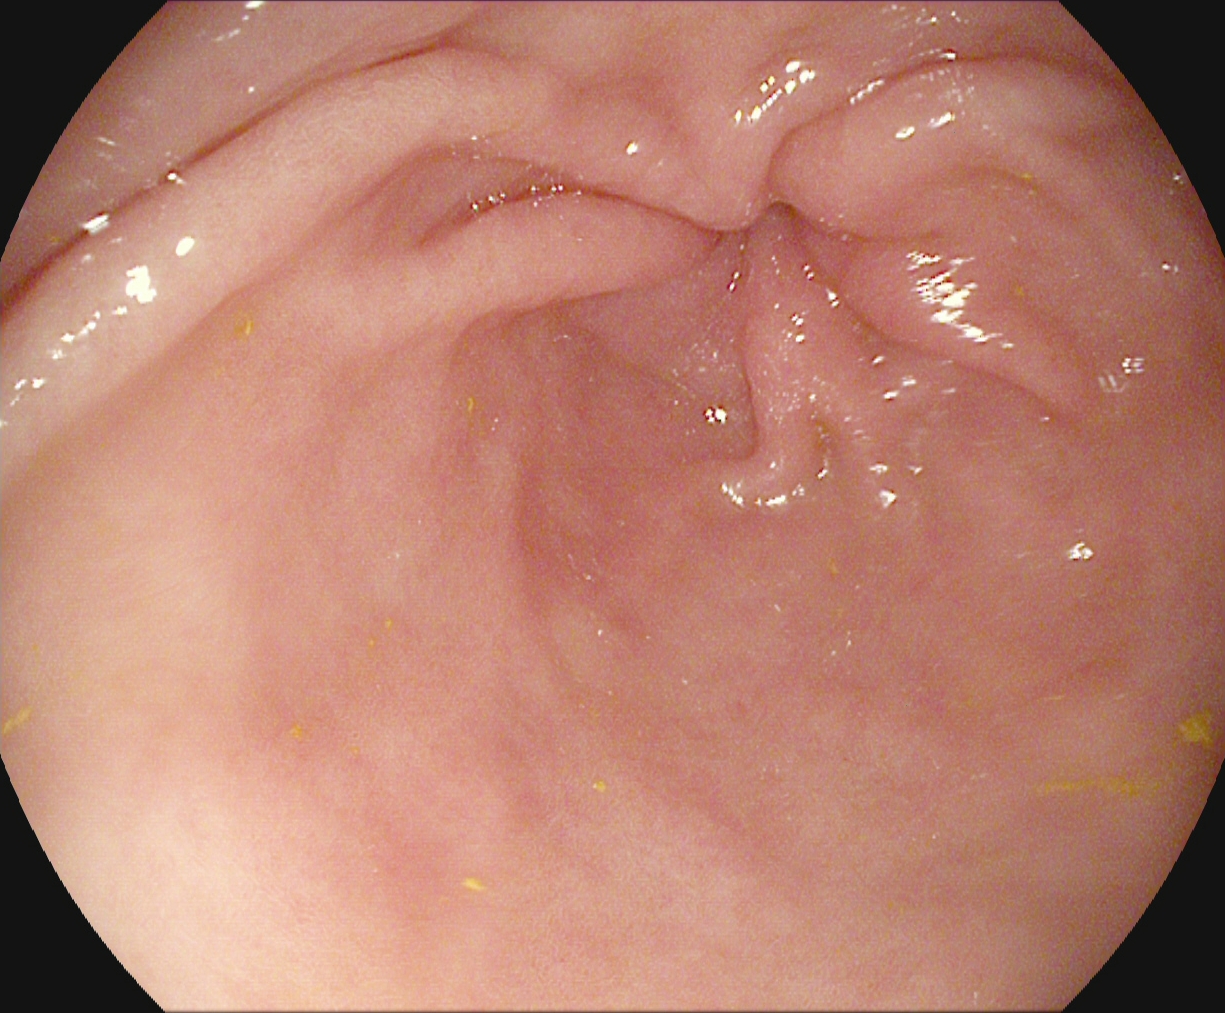Upper-GI endoscopy — pylorus.